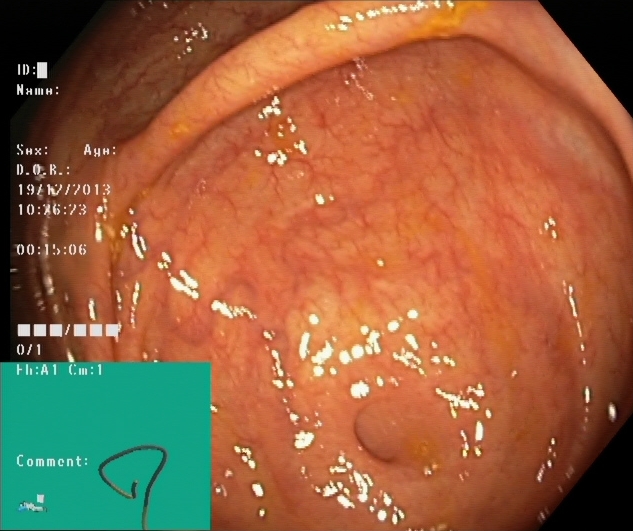Colonoscopy. Tract: lower GI tract. Finding: cecum.